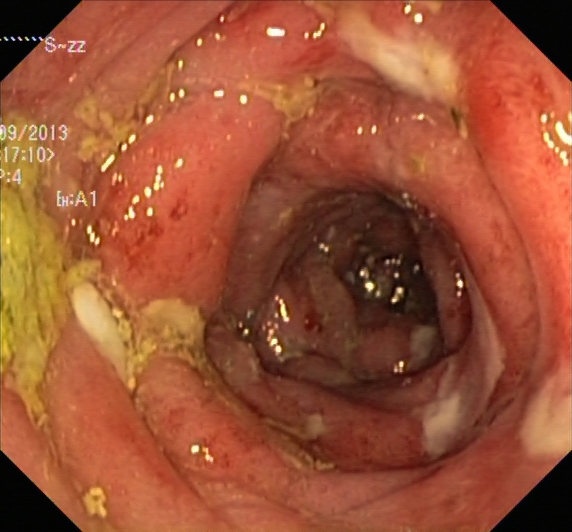This endoscopic image of the lower GI tract shows ulcerative colitis, Mayo endoscopic subscore 3.